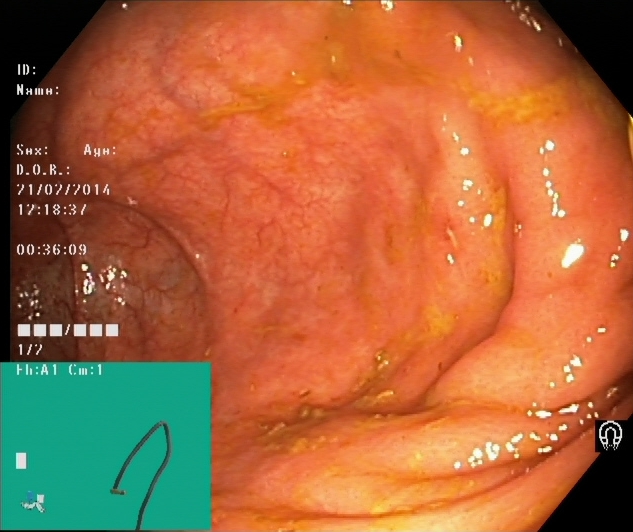{"modality": "lower gastrointestinal endoscopy", "category": "anatomical landmark", "finding": "cecum"}